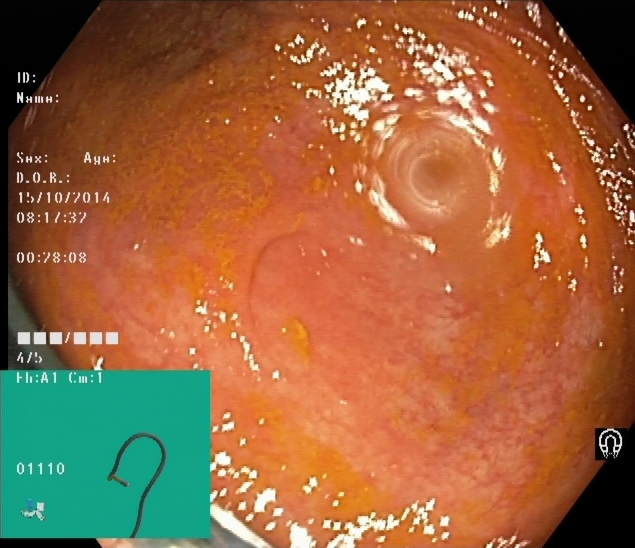{"modality": "lower gastrointestinal endoscopy", "category": "anatomical landmark", "finding": "cecum"}